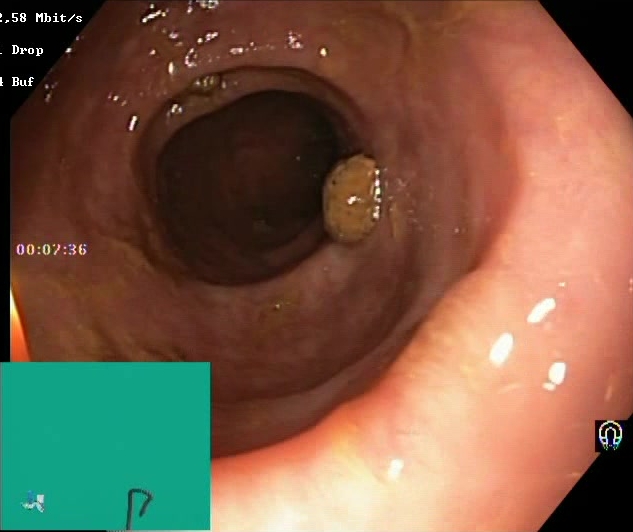This endoscopy frame shows BBPS score 2–3 (adequate preparation).